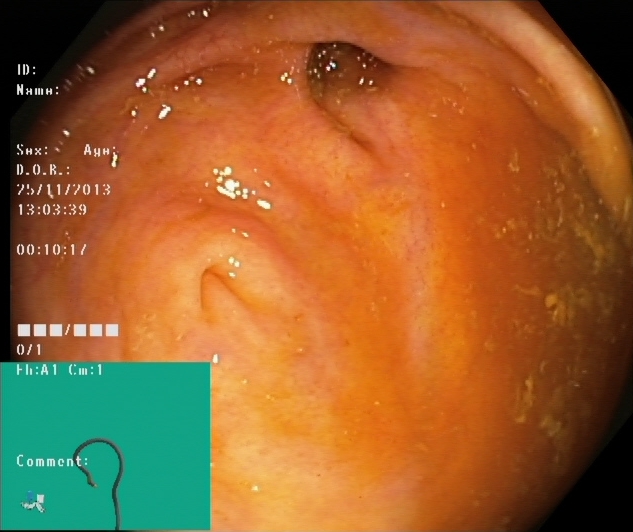PROCEDURE: Colonoscopy.
FINDINGS: Cecum.